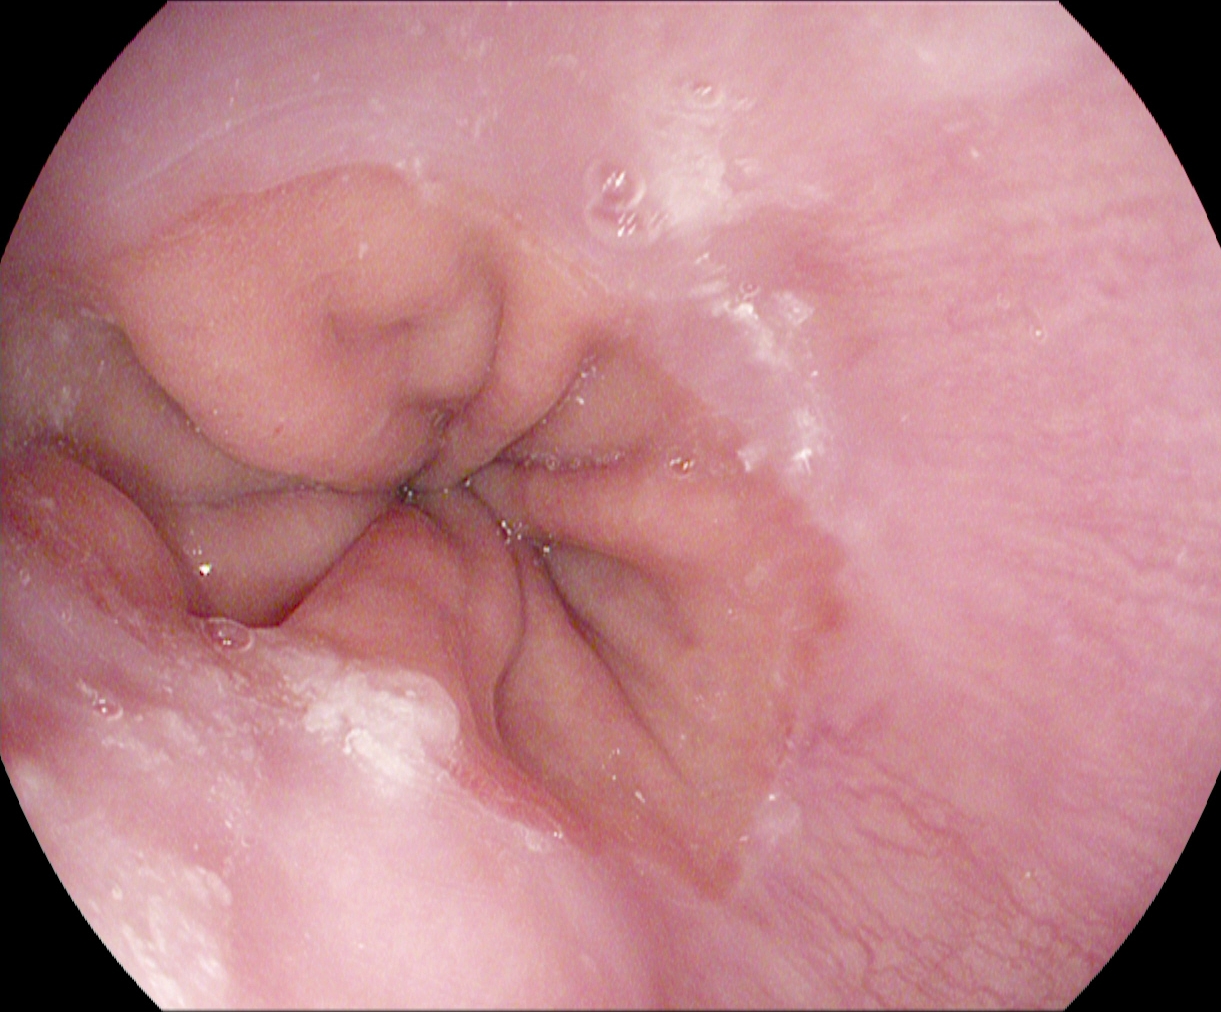PROCEDURE: EGD.
FINDINGS: Z-line (gastroesophageal junction).